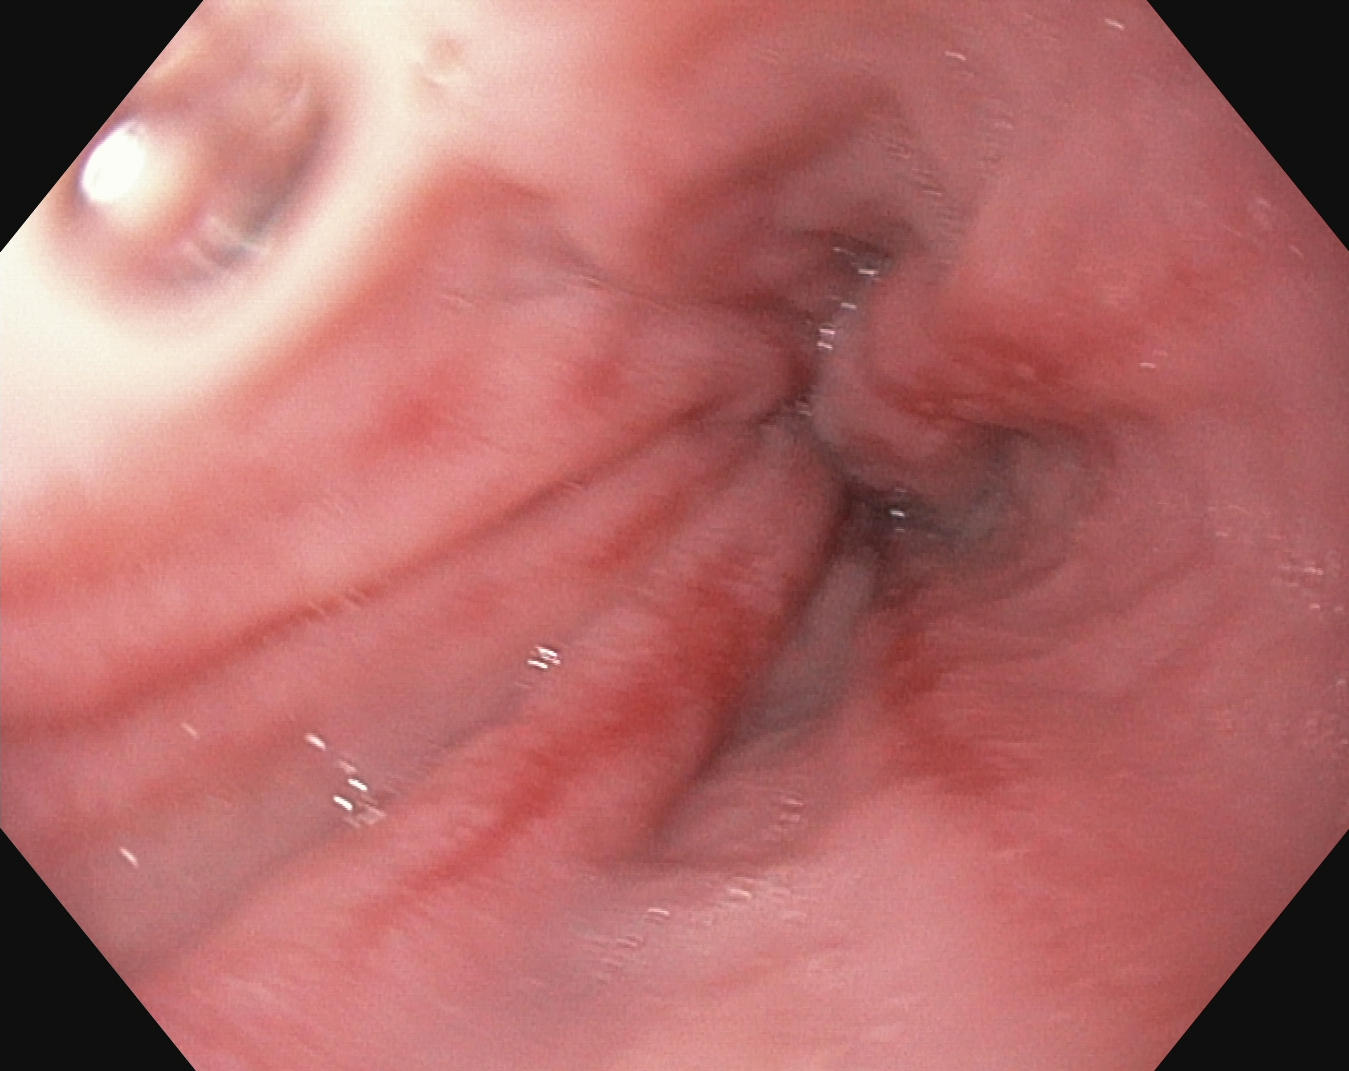reflux esophagitis, Los Angeles grade B–D.